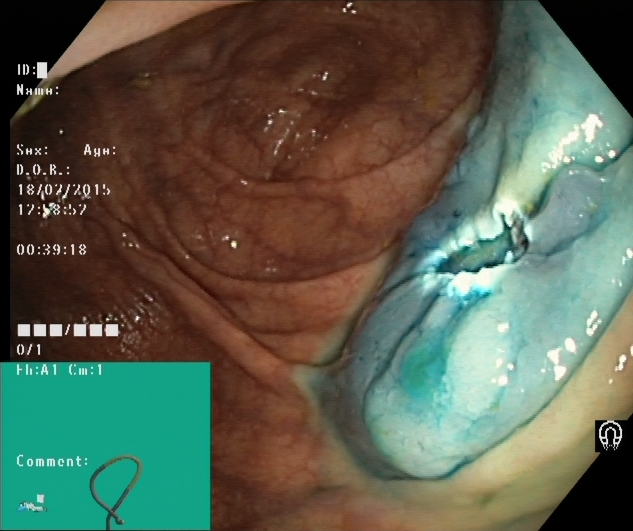Dyed resection margins (post-polypectomy).